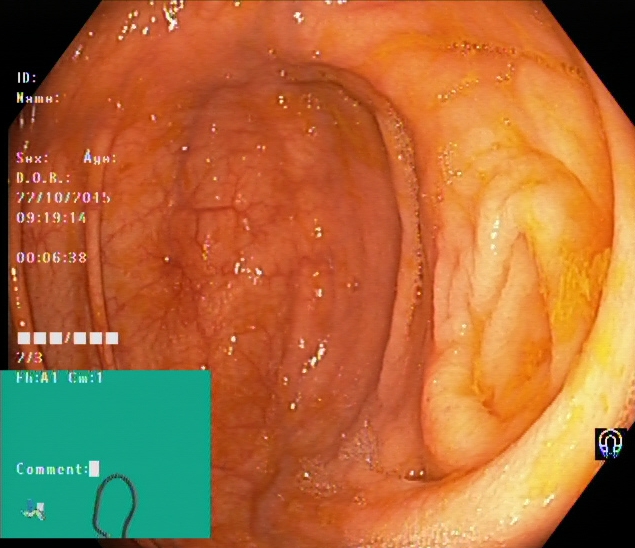modality: lower gastrointestinal endoscopy; finding: cecum